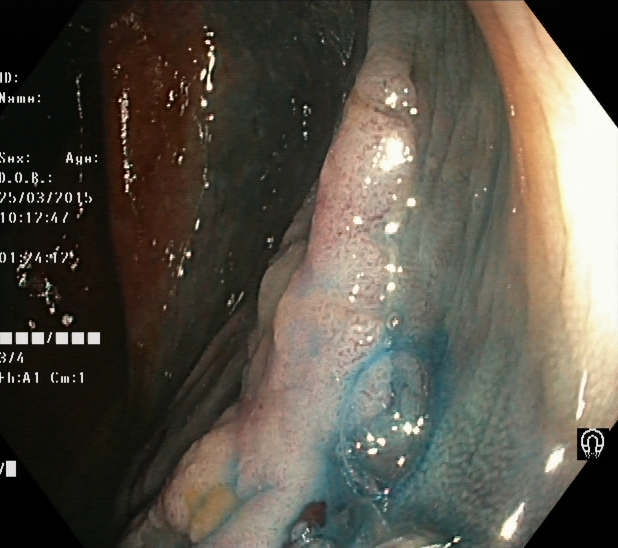Lower gastrointestinal endoscopy. Tract: lower GI tract. Finding: dyed and lifted polyp (pre-resection).